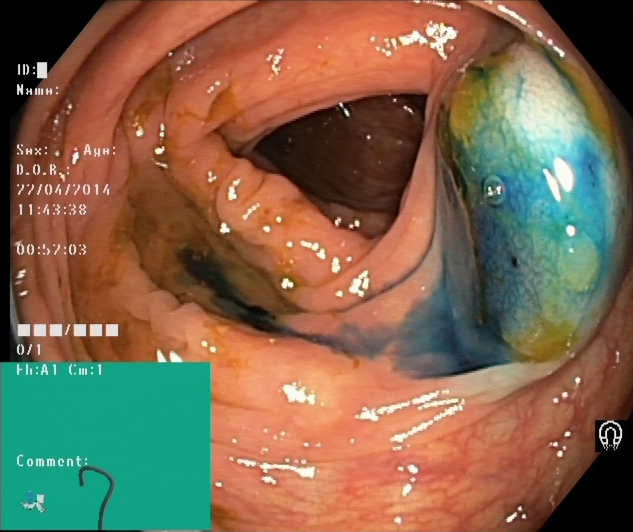Lower-GI endoscopy. Tract: lower GI tract. Finding: dyed and lifted polyp (pre-resection).